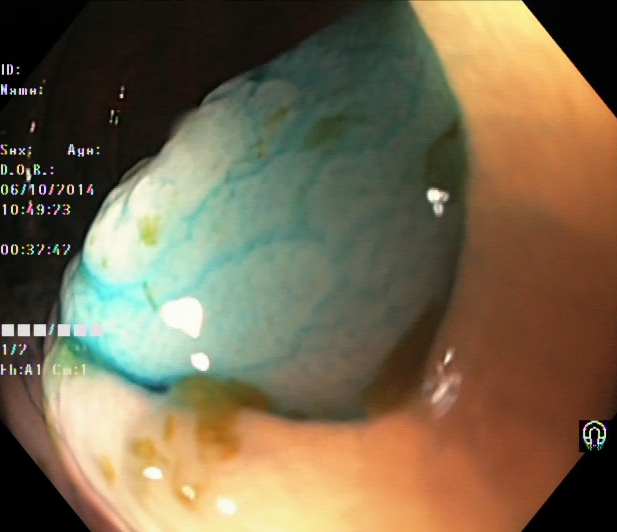Dyed and lifted polyp (pre-resection).